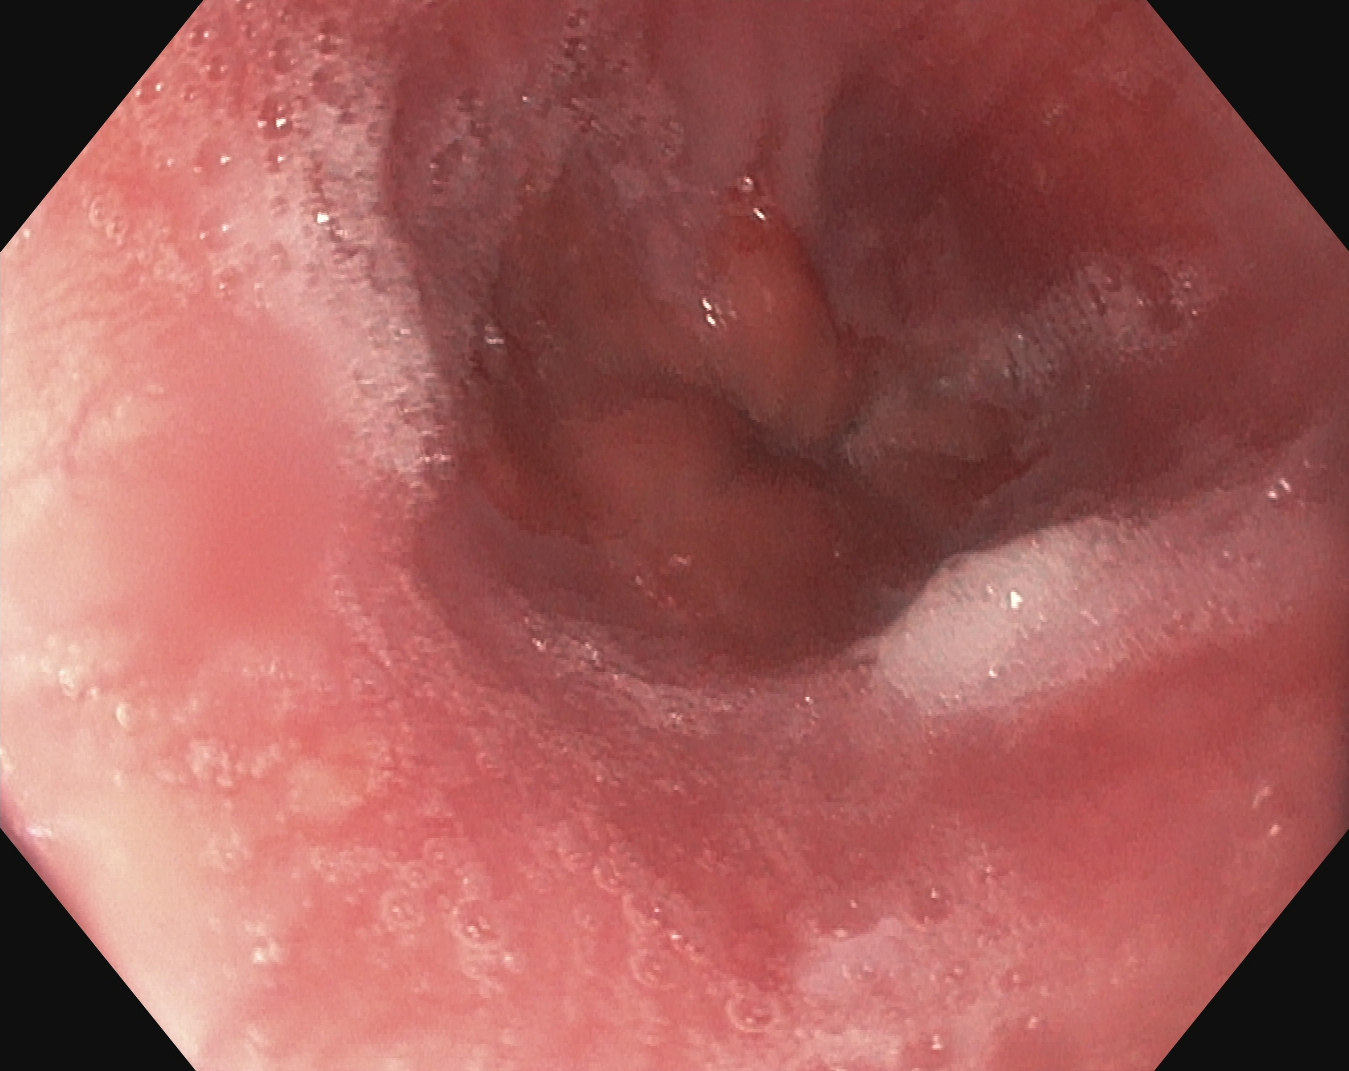EGD — reflux esophagitis, Los Angeles grade A.